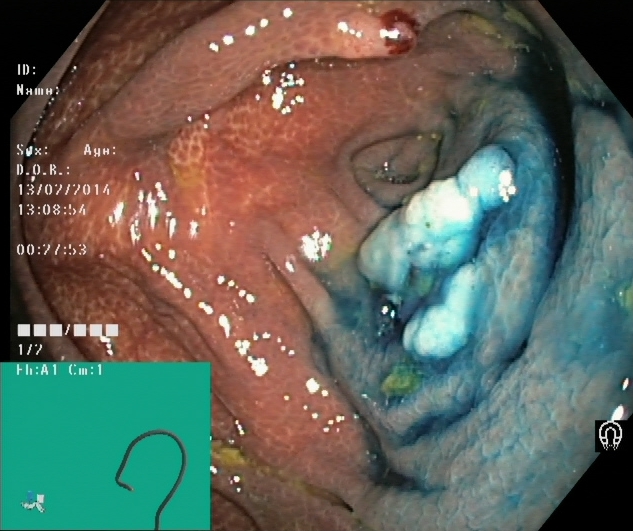Endoscopic image of the lower GI tract showing dyed and lifted polyp (pre-resection).